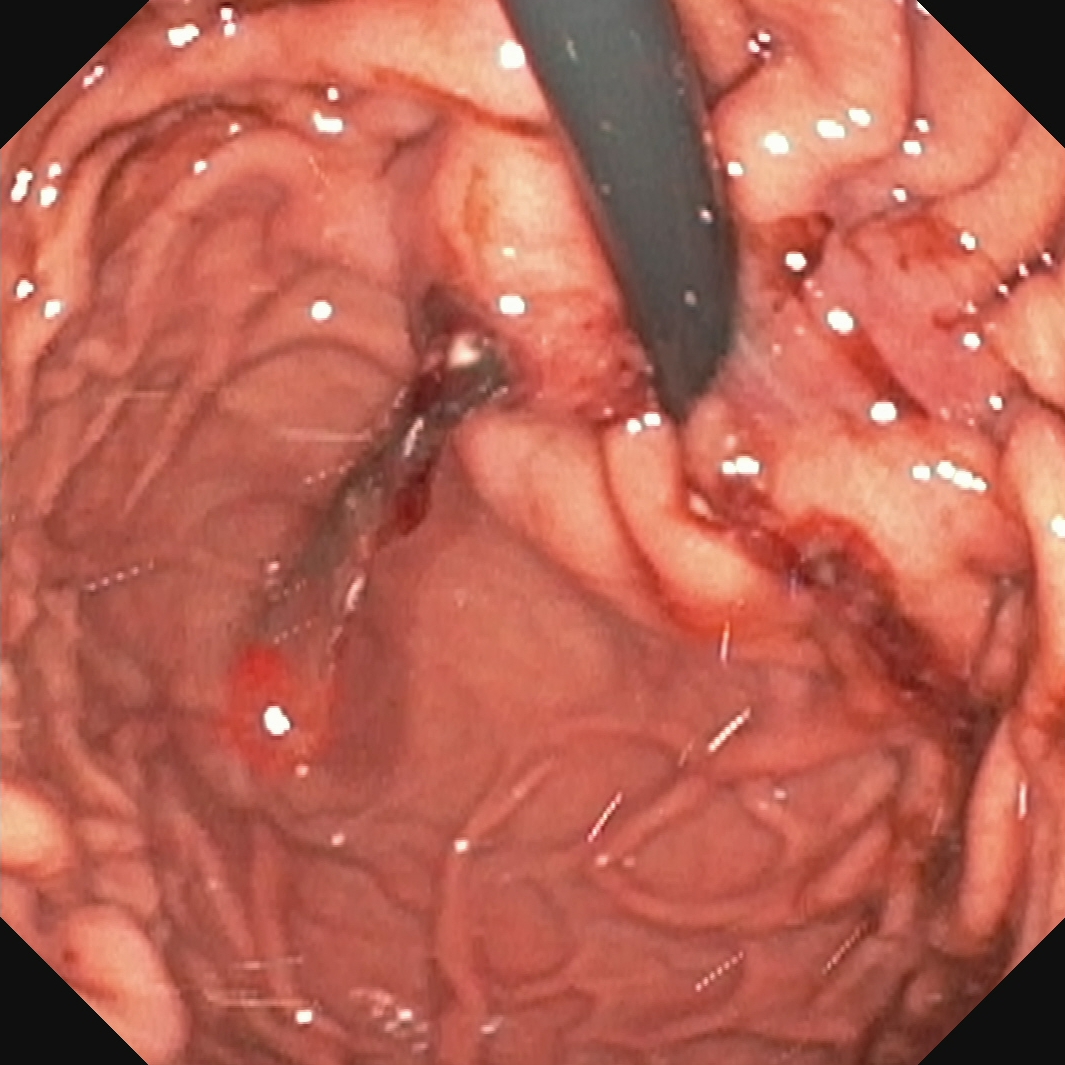Esophagogastroduodenoscopy — stomach in retroflexion.